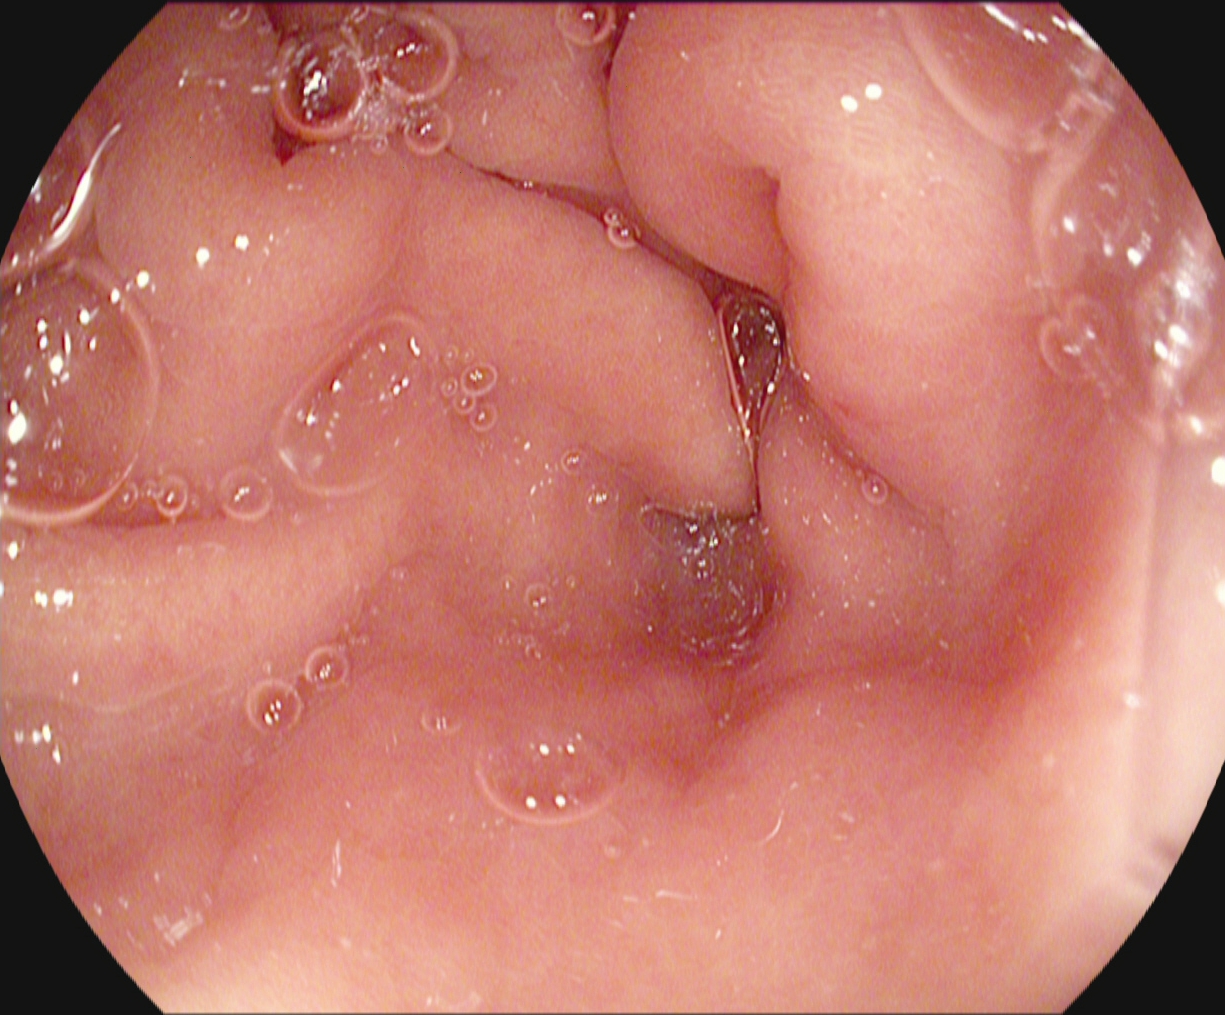Pylorus.